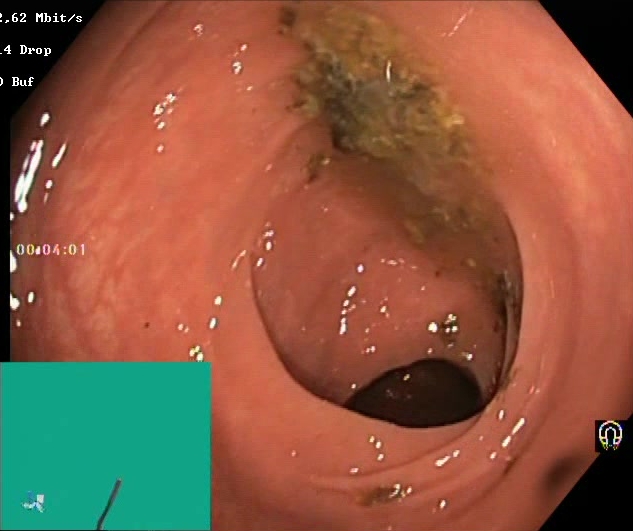This endoscopic image of the lower GI tract shows Boston Bowel Preparation Scale score 0–1 (inadequate preparation).